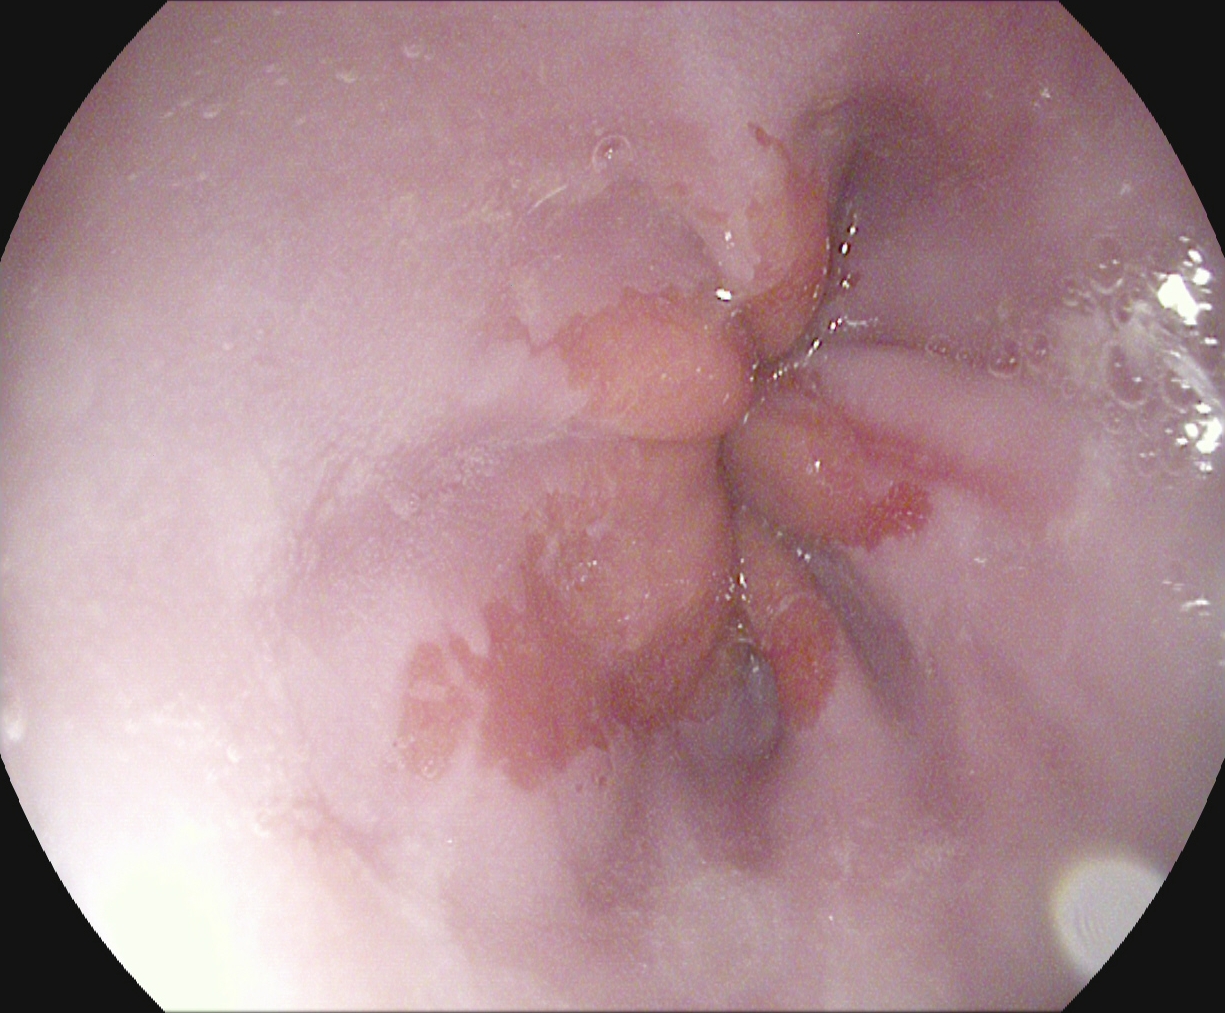This endoscopy frame of the upper GI tract shows reflux esophagitis, Los Angeles grade A.